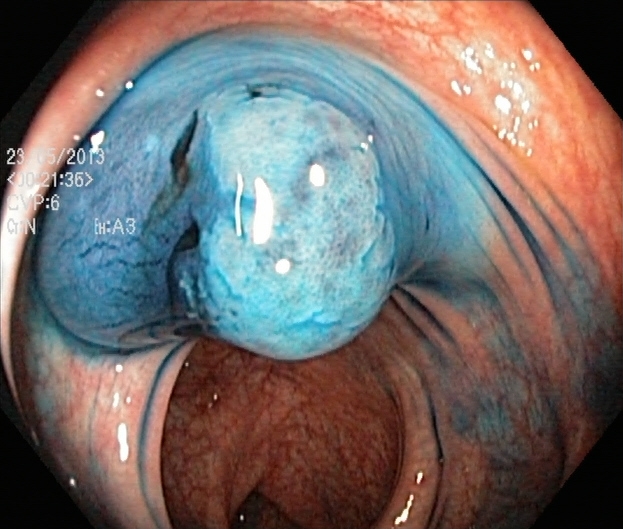GI endoscopy image showing dyed and lifted polyp (pre-resection).